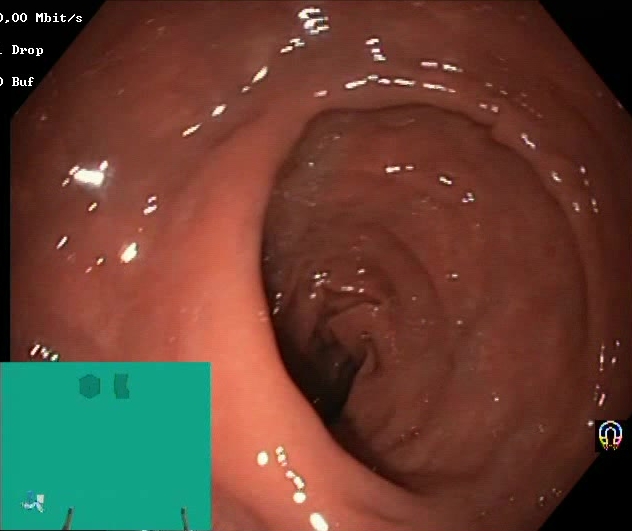modality: lower-GI endoscopy
tract: lower GI tract
category: mucosal-view quality
finding: Boston Bowel Preparation Scale score 2–3 (adequate preparation)